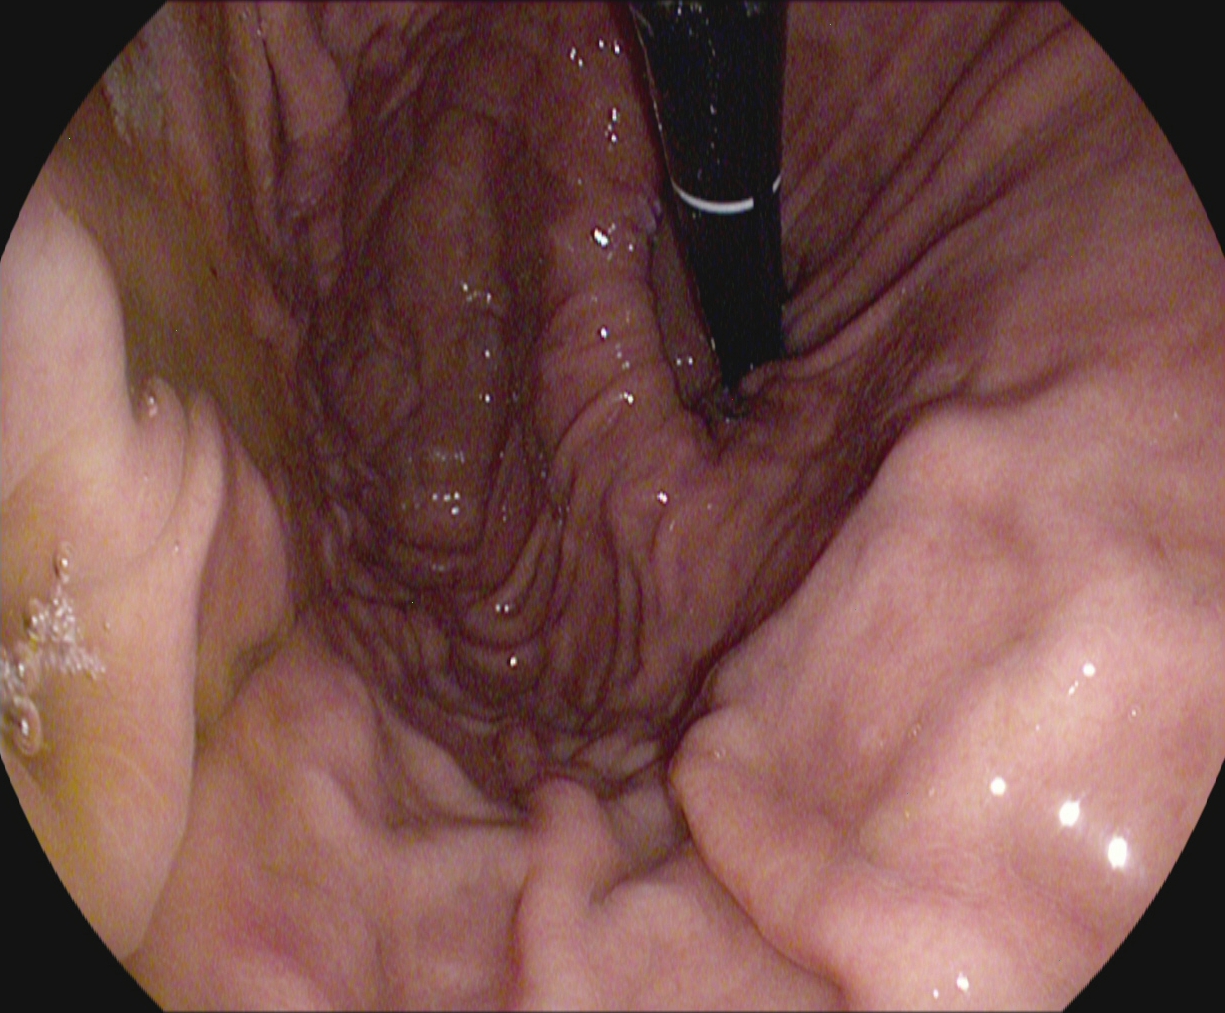{"modality": "gastroscopy", "tract": "upper GI tract", "finding": "stomach in retroflexion"}